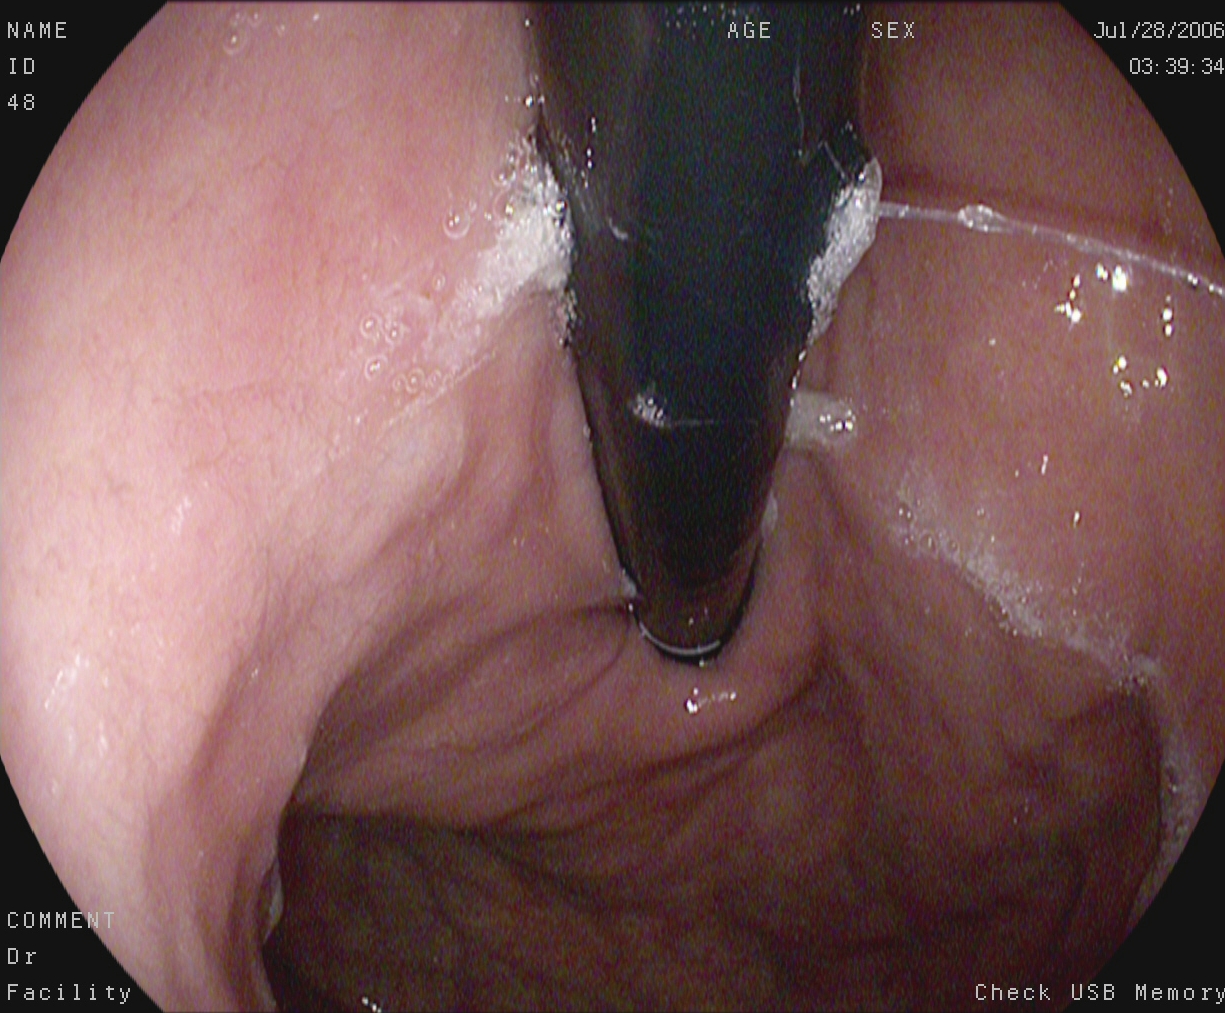Stomach in retroflexion.